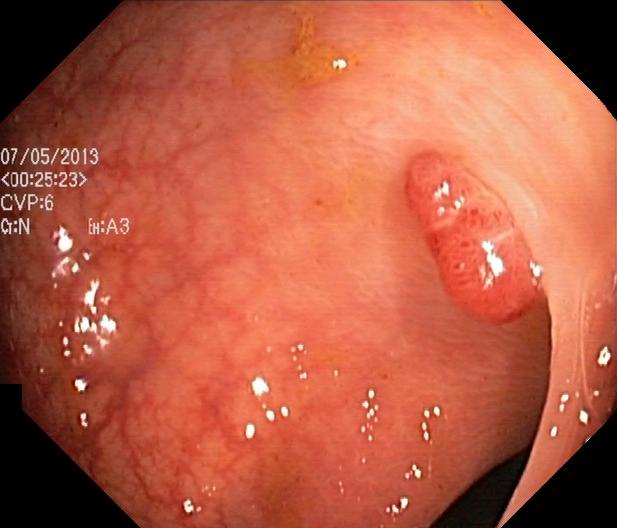modality: lower gastrointestinal endoscopy
tract: lower GI tract
finding: colorectal polyp(s)